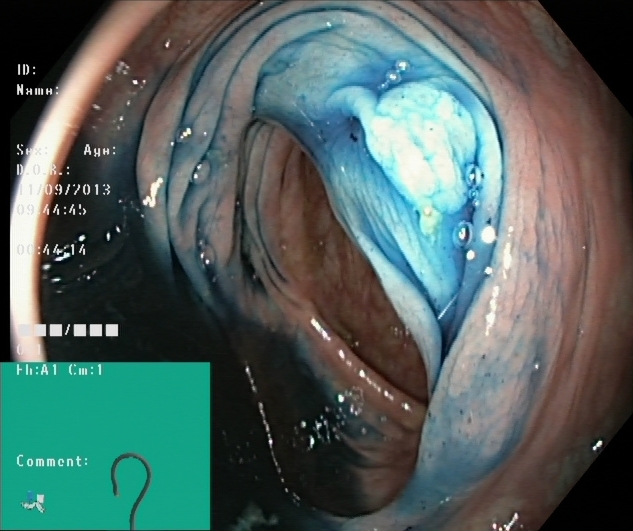Lower-GI endoscopy — dyed and lifted polyp (pre-resection).